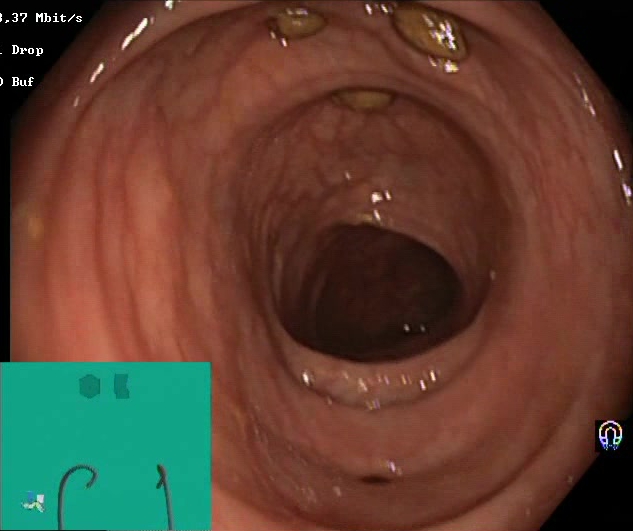impacted stool.